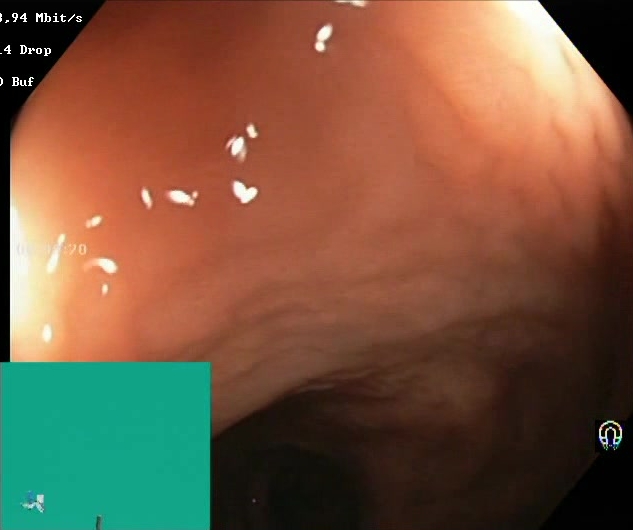{"modality": "lower gastrointestinal endoscopy", "tract": "lower GI tract", "finding": "Boston Bowel Preparation Scale score 2\u20133 (adequate preparation)"}